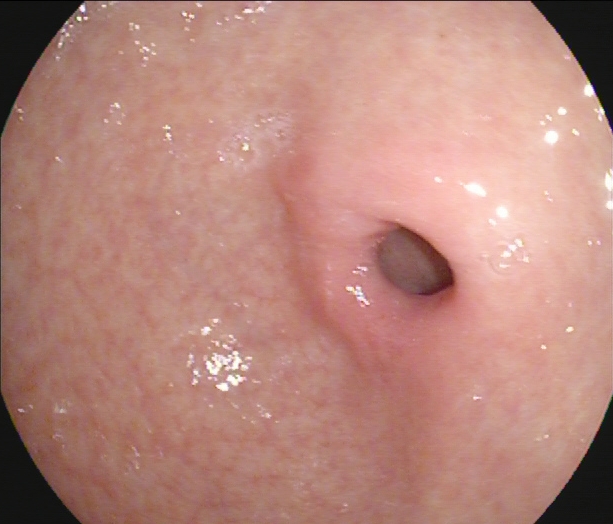Pylorus.